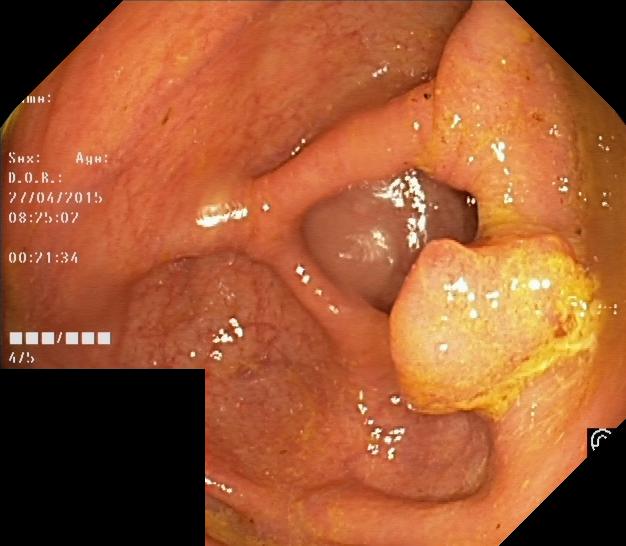Lower gastrointestinal endoscopy image of the lower GI tract showing colorectal polyp(s).